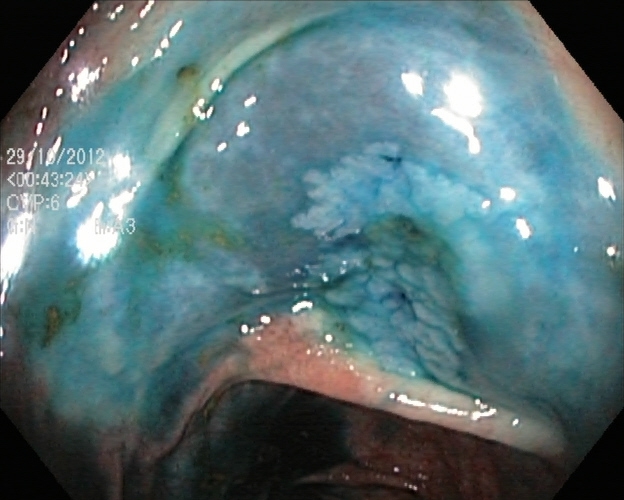modality: lower gastrointestinal endoscopy
finding: dyed and lifted polyp (pre-resection)